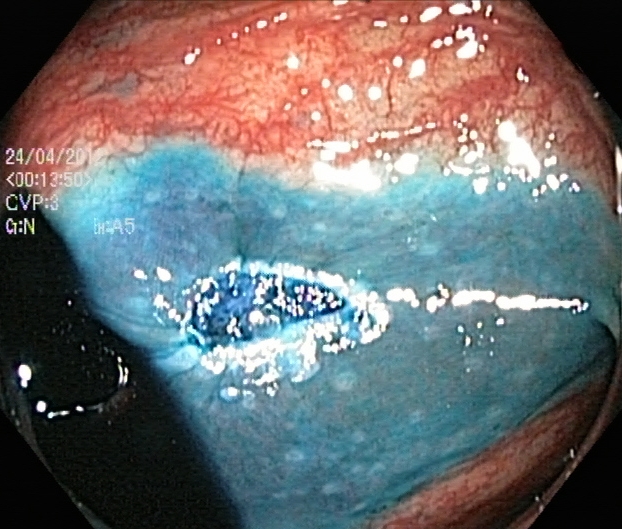Colonoscopy — dyed resection margins (post-polypectomy).